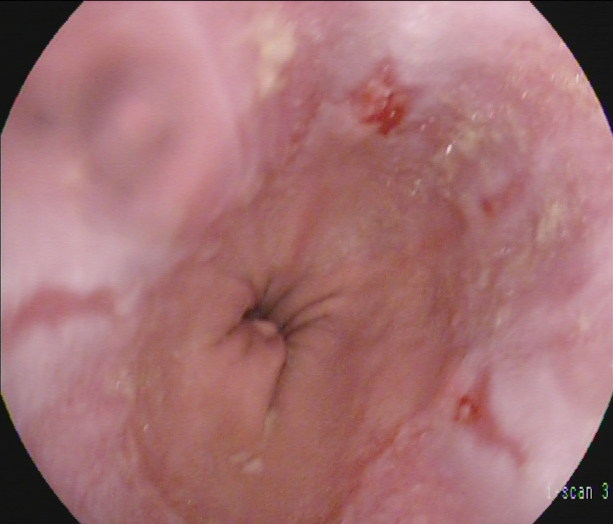EGD. Pathological finding. Finding: reflux esophagitis, Los Angeles grade A.